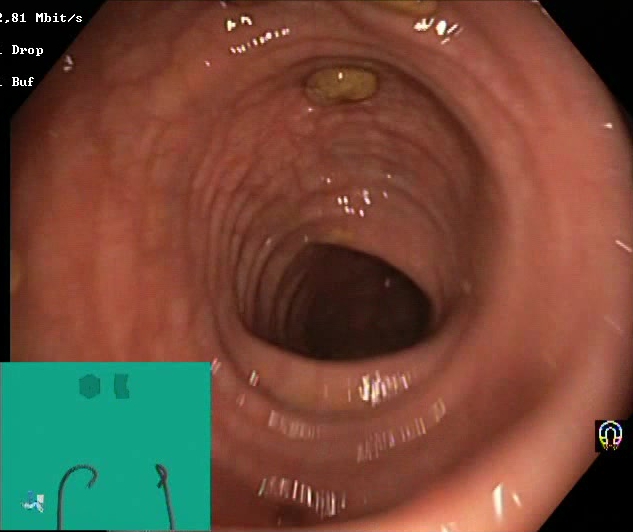Lower-GI endoscopy. Tract: lower GI tract. Finding: Boston Bowel Preparation Scale score 2–3 (adequate preparation).